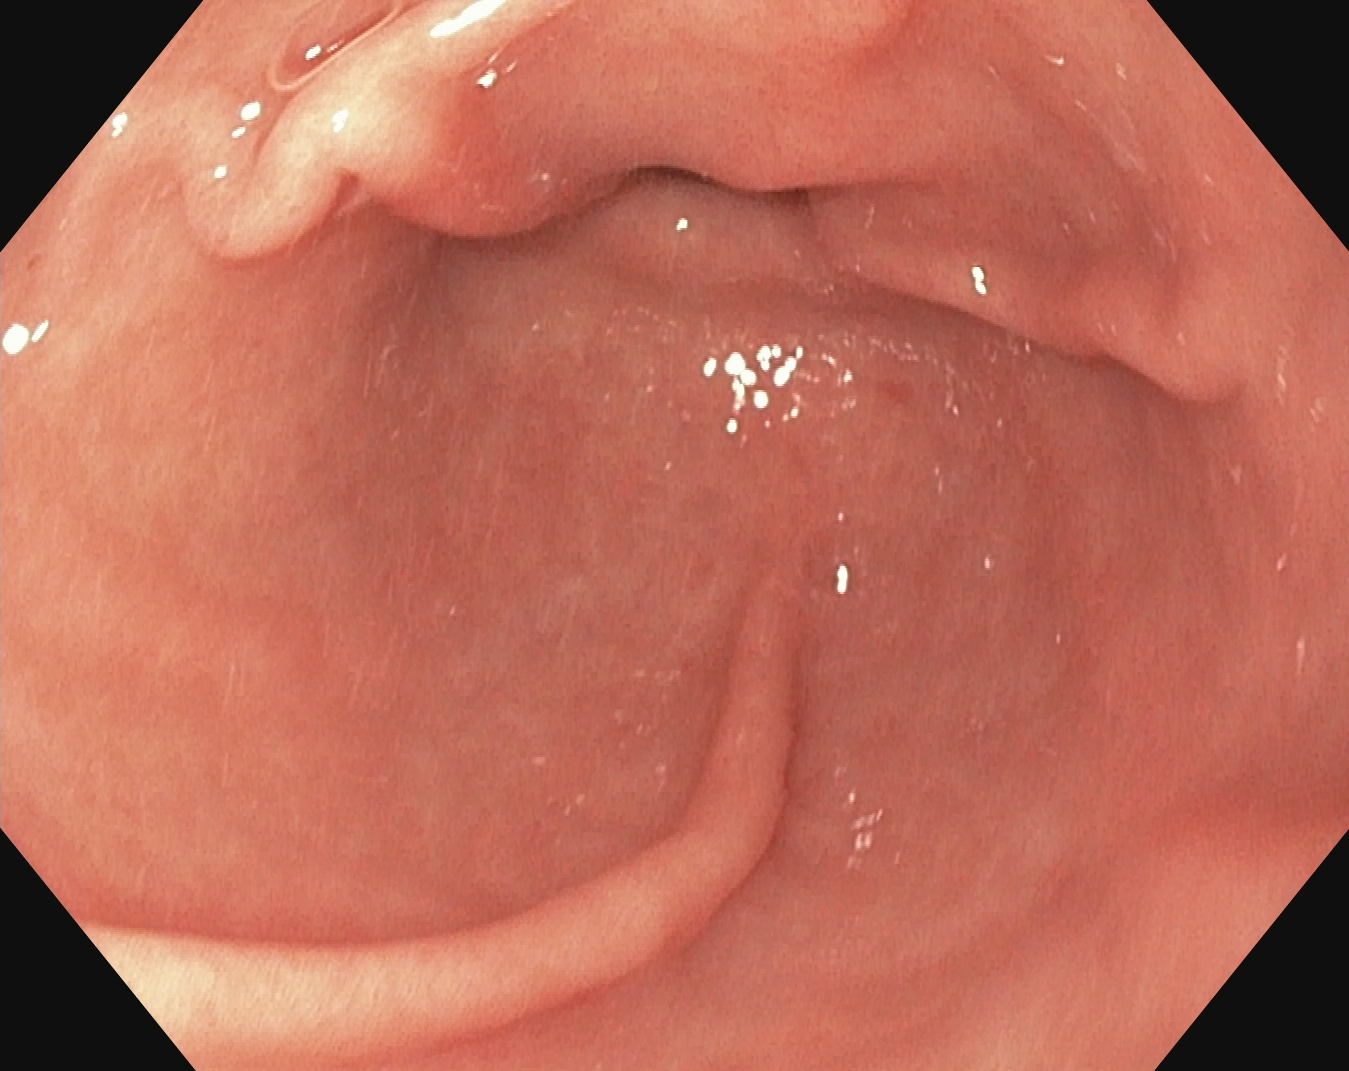PROCEDURE: Upper-GI endoscopy.
FINDINGS: Pylorus.